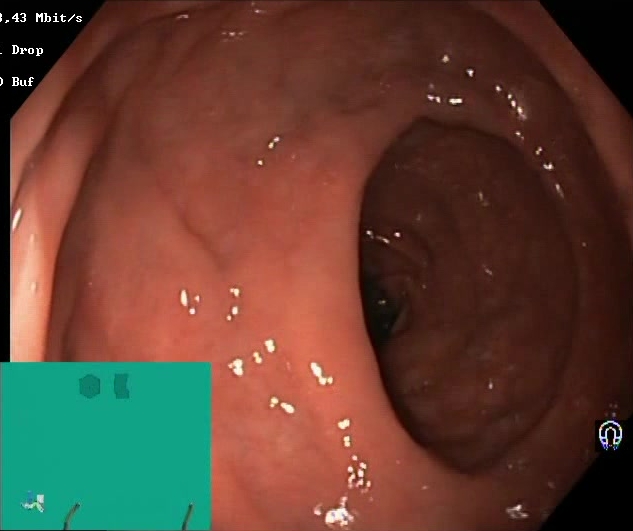Endoscopic image of the lower GI tract showing BBPS score 2–3 (adequate preparation).